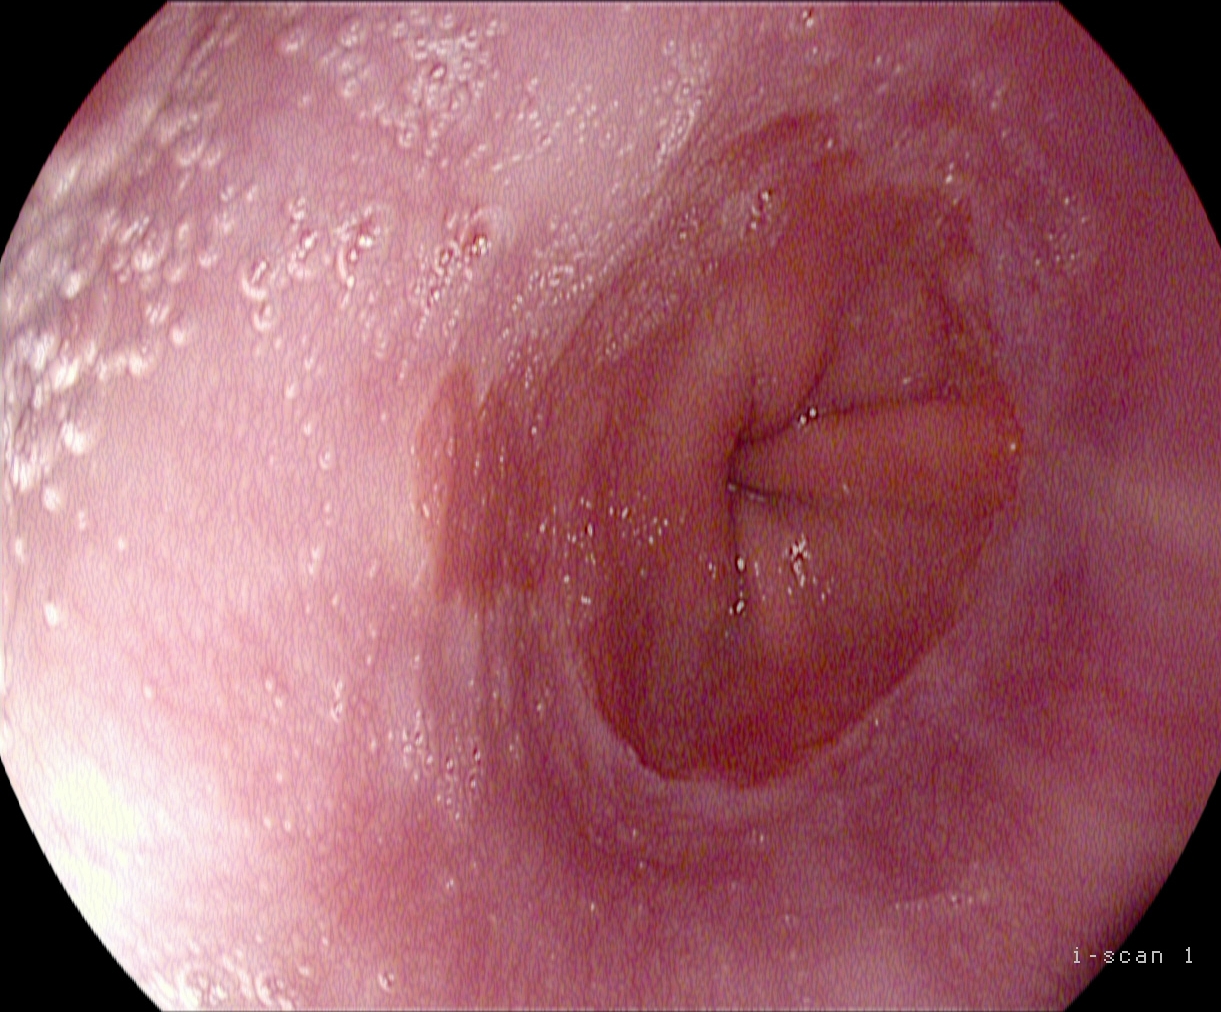This endoscopy frame shows Barrett's esophagus, short segment.